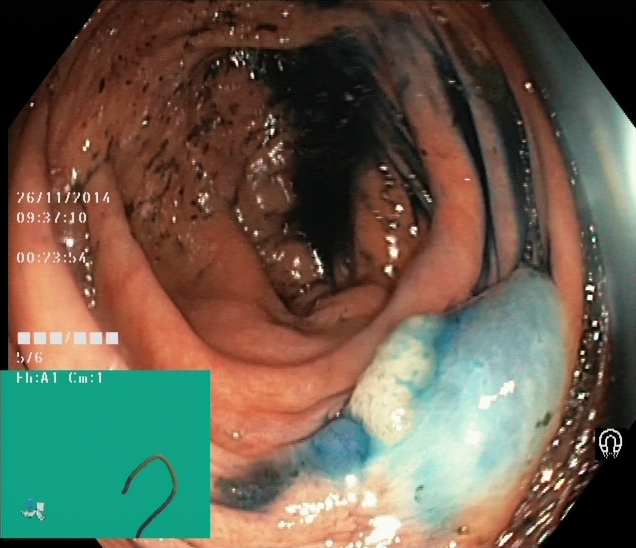Lower-GI endoscopy — dyed and lifted polyp (pre-resection).